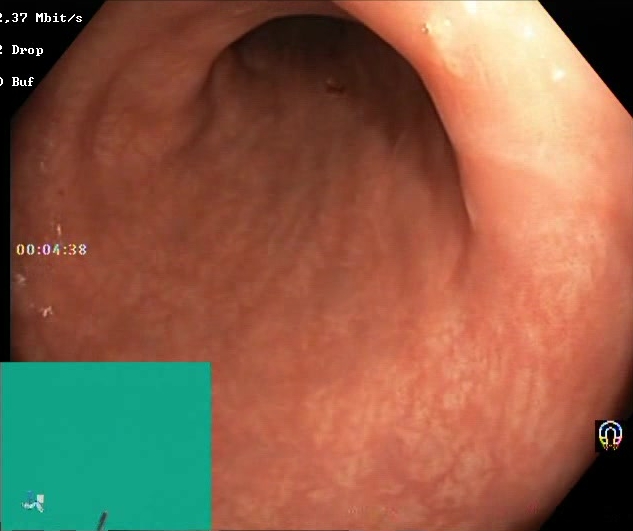Endoscopic frame of the lower GI tract showing Boston Bowel Preparation Scale score 2–3 (adequate preparation).